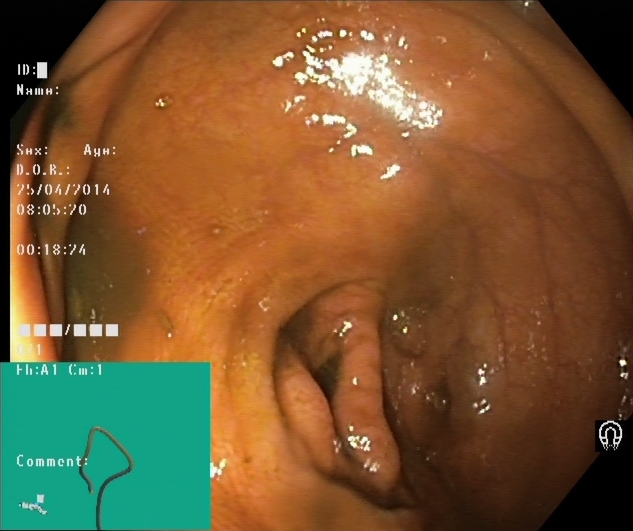This endoscopy frame of the lower GI tract shows cecum.